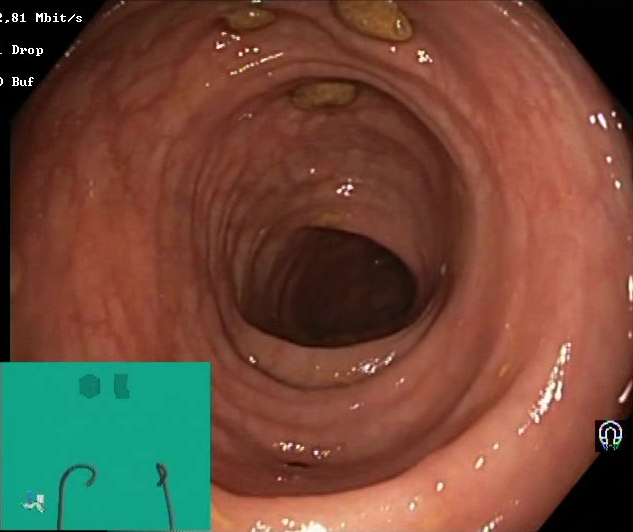{"modality": "colonoscopy", "tract": "lower GI tract", "category": "mucosal-view quality", "finding": "impacted stool"}